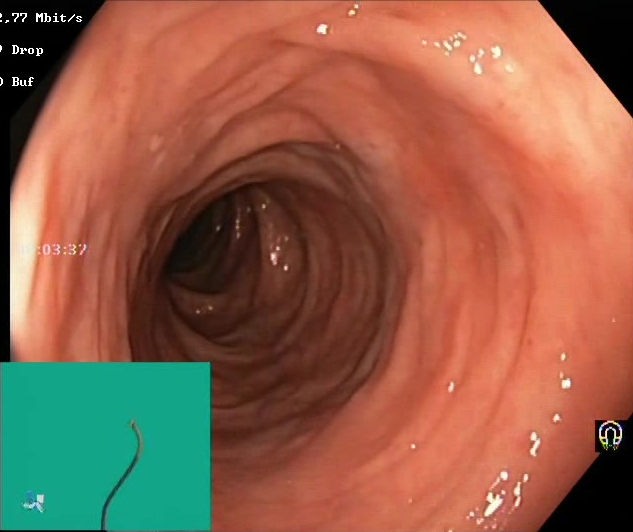Endoscopic frame of the lower GI tract showing Boston Bowel Preparation Scale score 2–3 (adequate preparation).